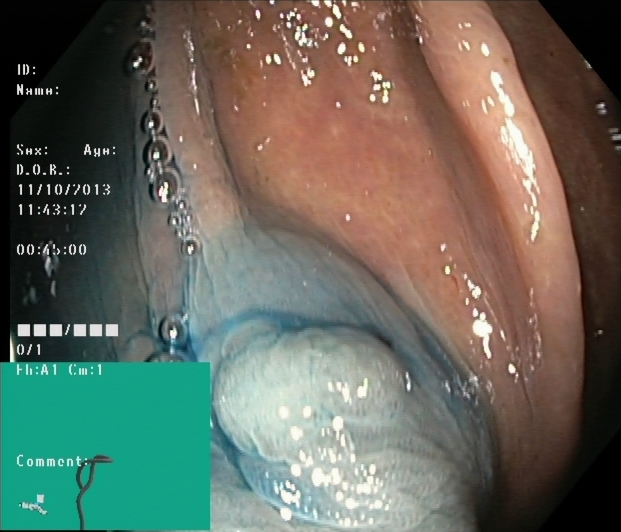{"modality": "lower gastrointestinal endoscopy", "tract": "lower GI tract", "category": "therapeutic intervention", "finding": "dyed and lifted polyp (pre-resection)"}